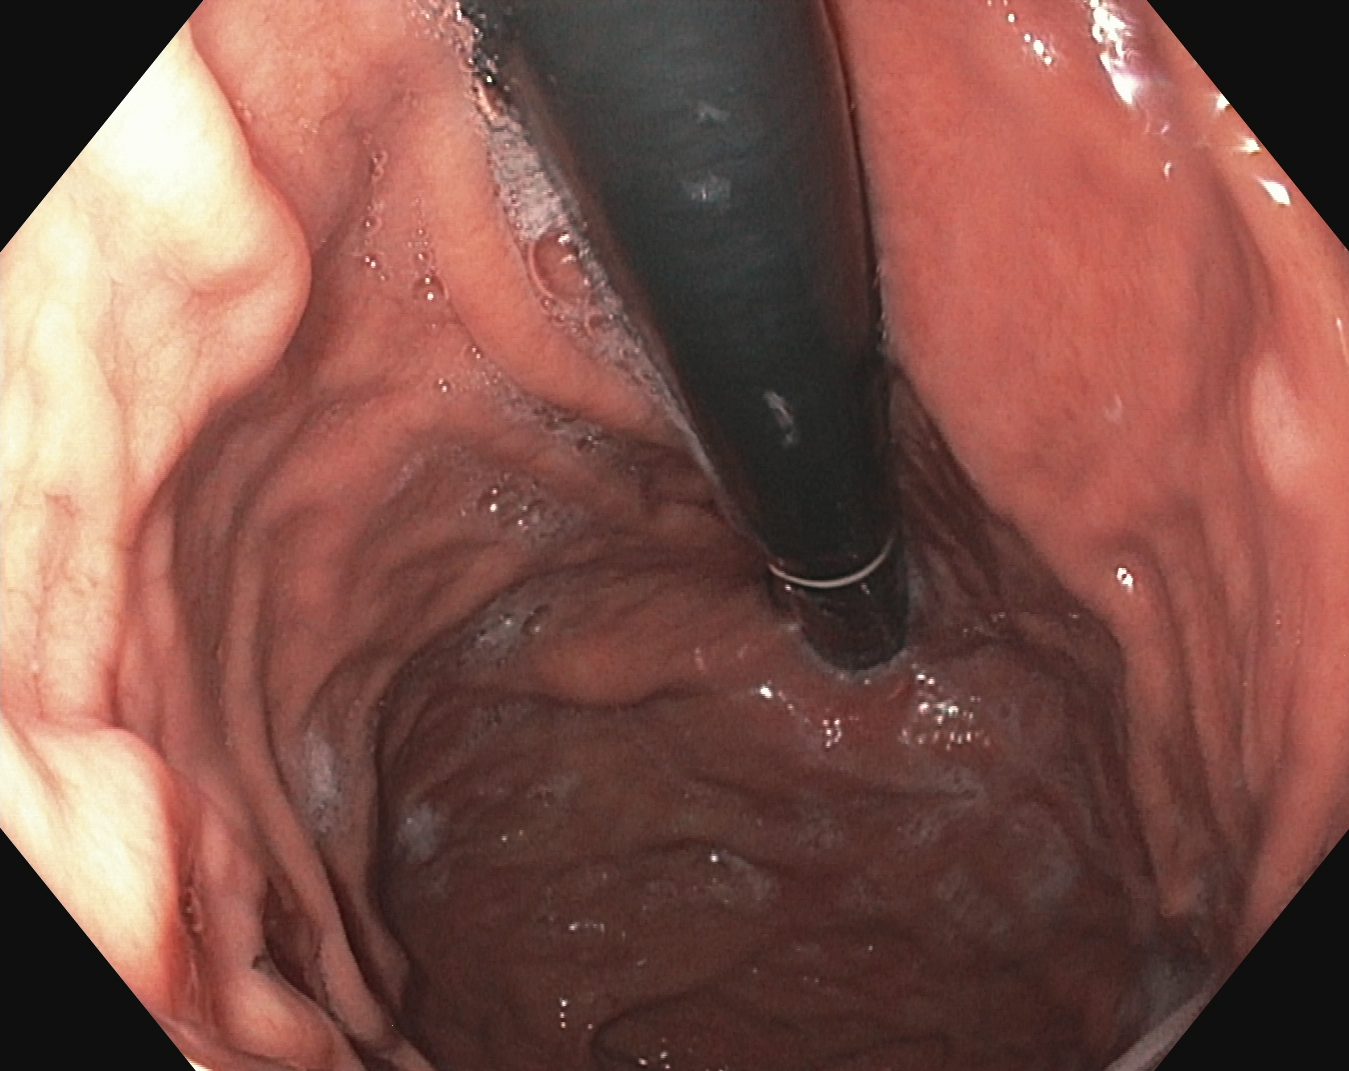Esophagogastroduodenoscopy image showing stomach in retroflexion.